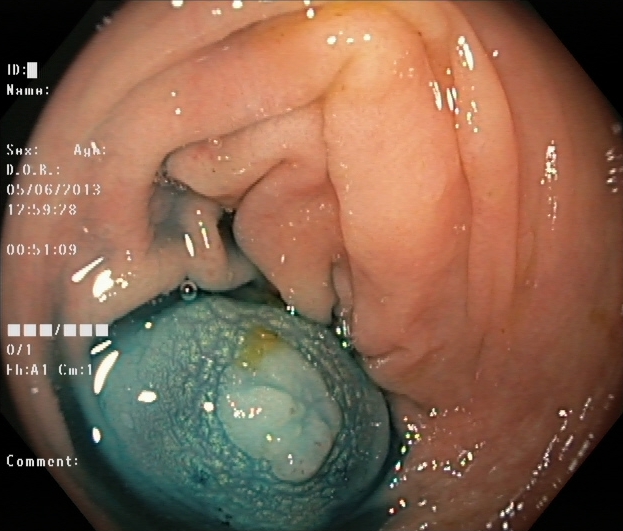modality: lower gastrointestinal endoscopy
tract: lower GI tract
category: therapeutic intervention
finding: dyed and lifted polyp (pre-resection)